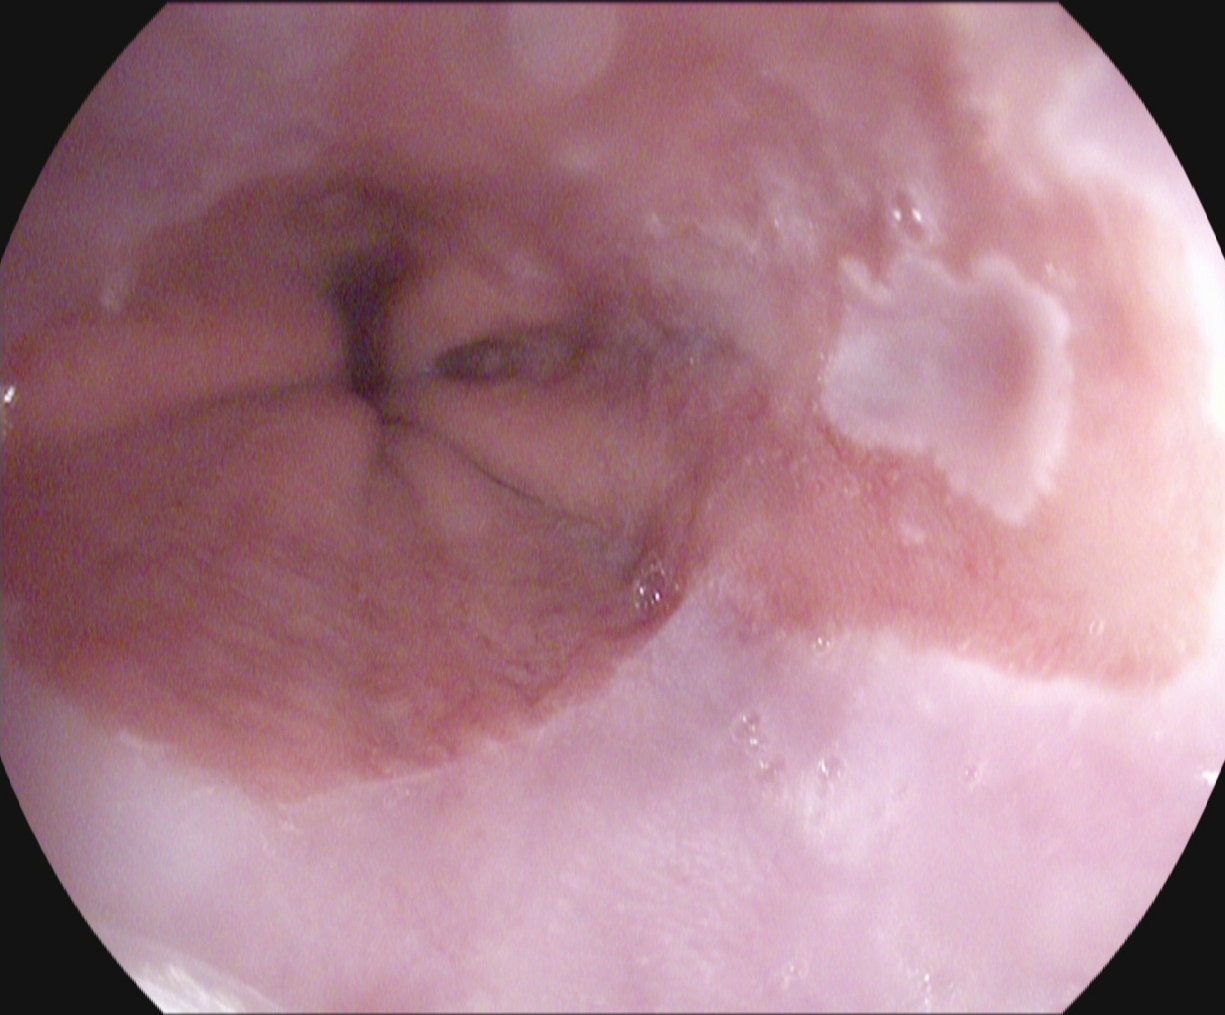Upper-GI endoscopy — Barrett's esophagus.